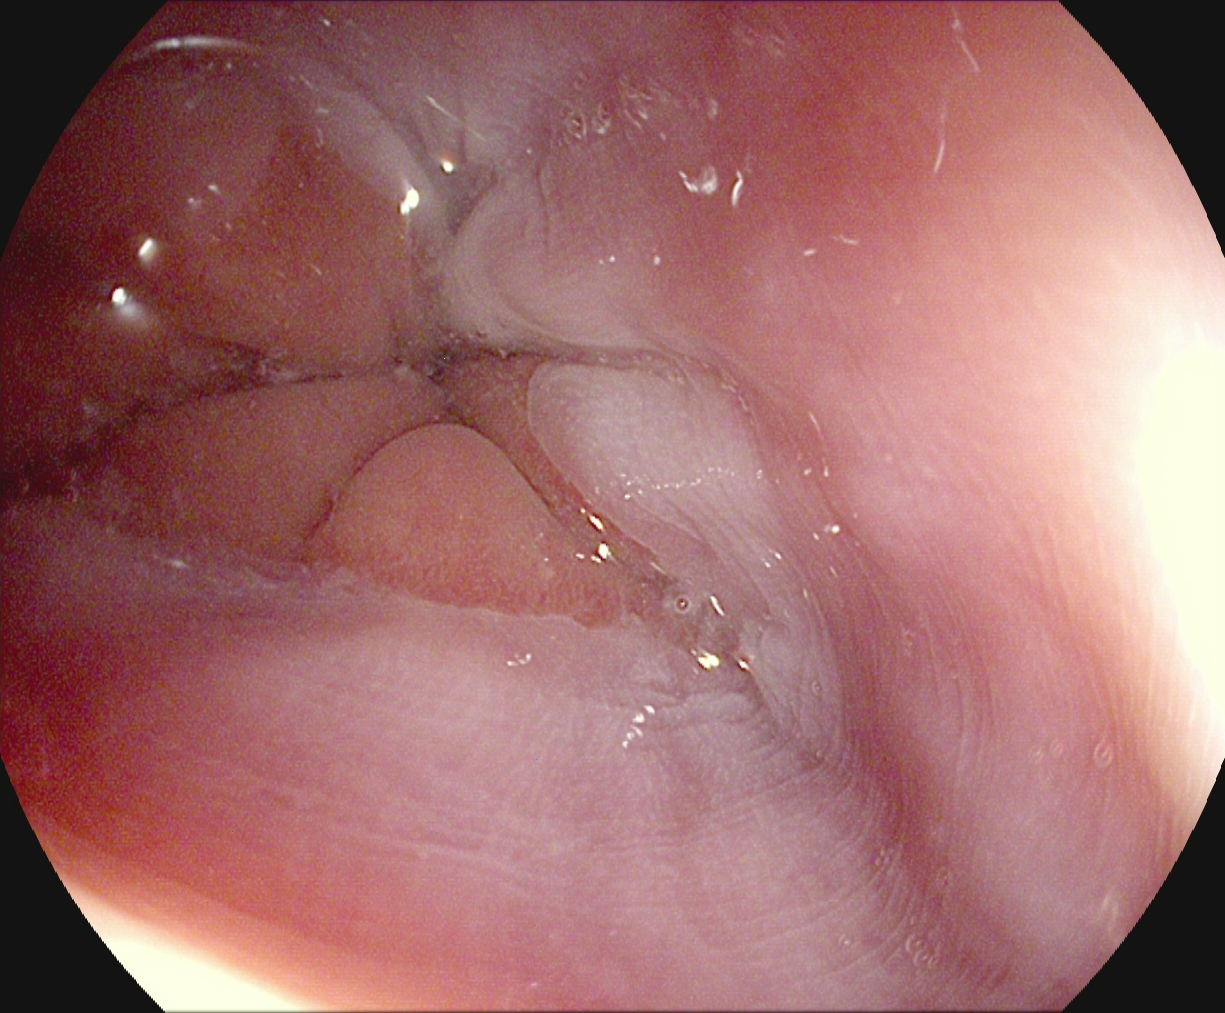Gastrointestinal endoscopy image of the upper GI tract showing Z-line (gastroesophageal junction).